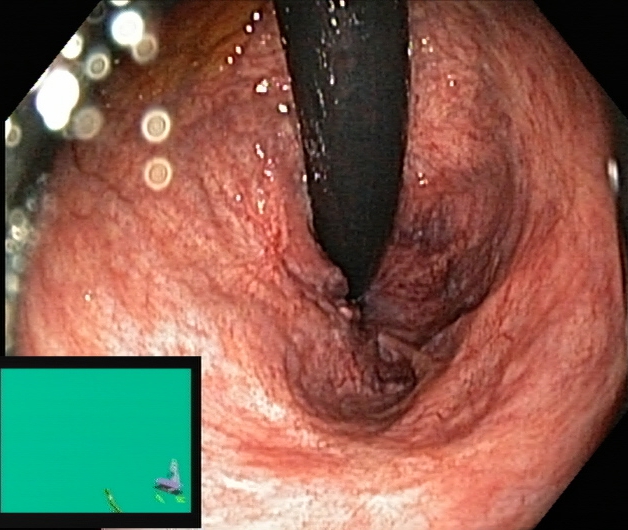PROCEDURE: Colonoscopy.
FINDINGS: Rectum in retroflexion.